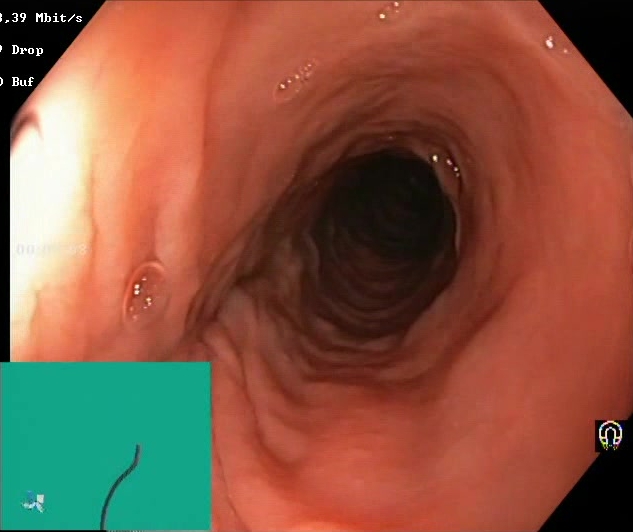PROCEDURE: Colonoscopy.
FINDINGS: BBPS score 2–3 (adequate preparation).